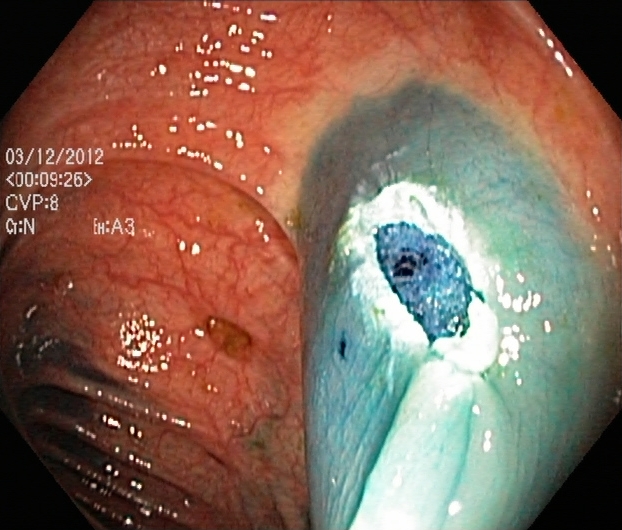Lower gastrointestinal endoscopy. Tract: lower GI tract. Finding: dyed resection margins (post-polypectomy).